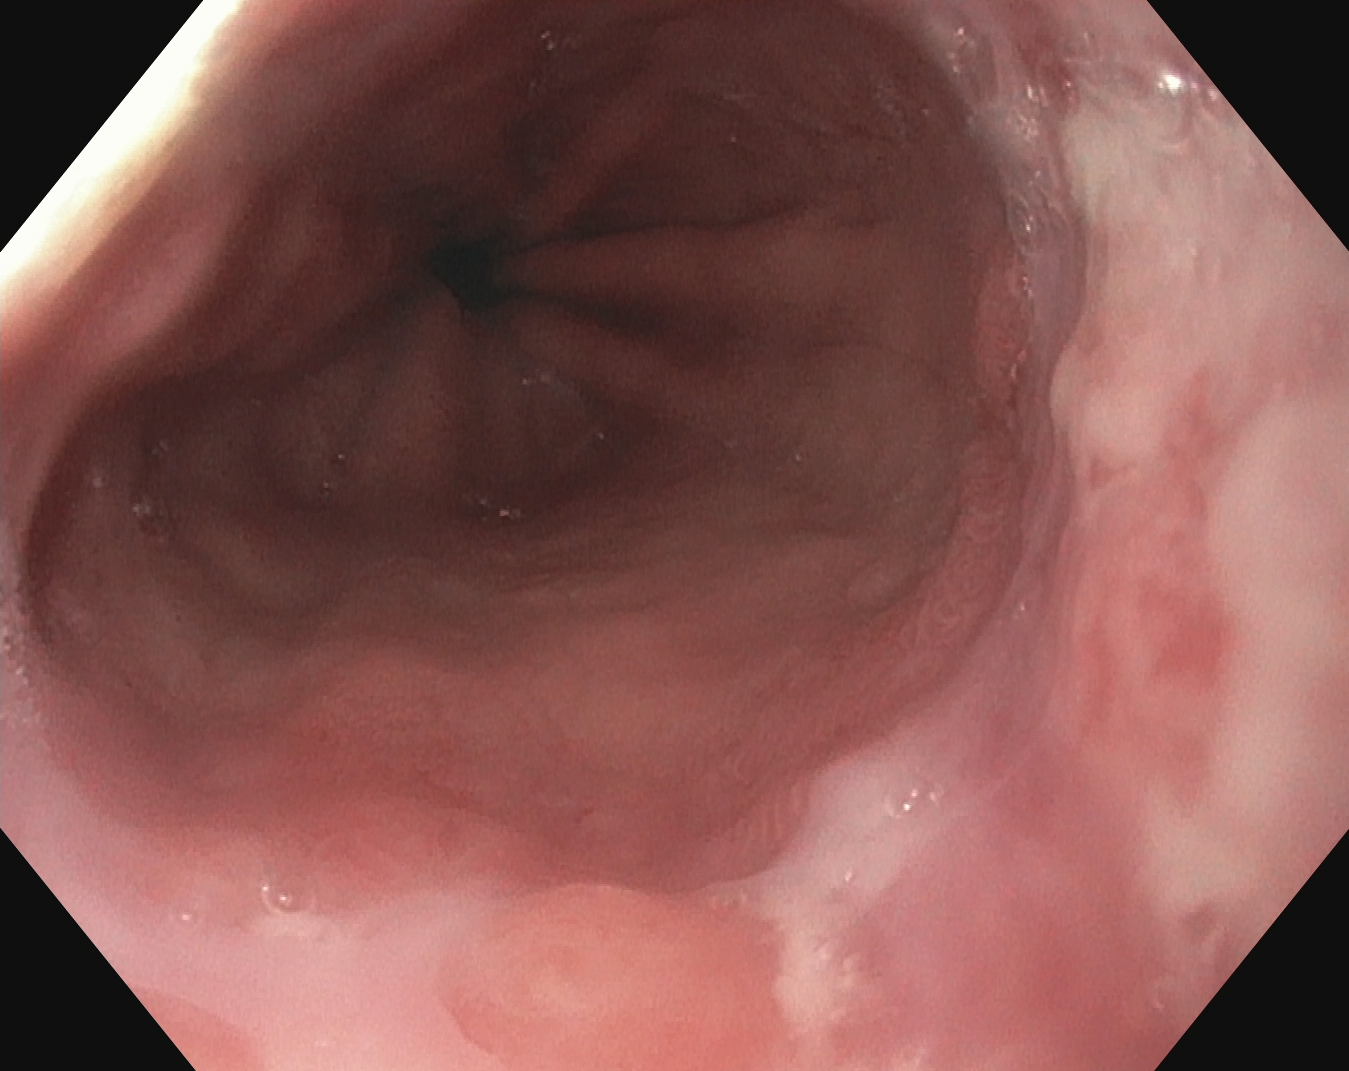Endoscopic frame of the upper GI tract showing reflux esophagitis, Los Angeles grade B–D.